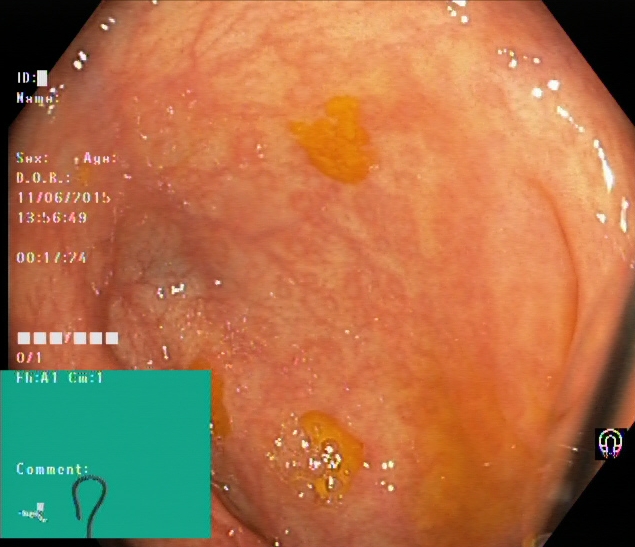GI endoscopy image of the lower GI tract showing cecum.